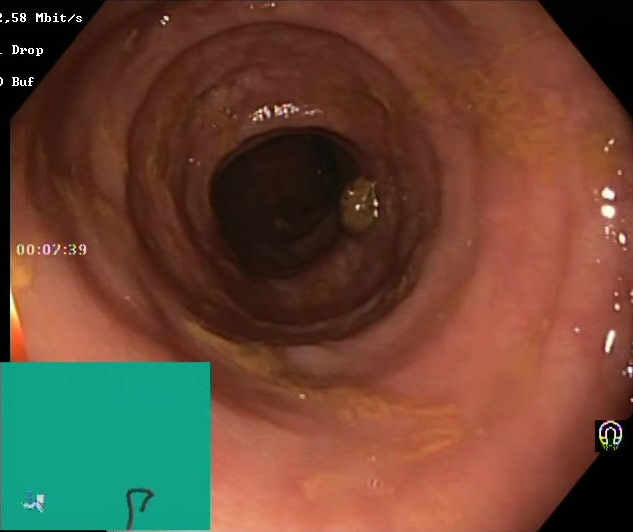Gastrointestinal endoscopy image showing Boston Bowel Preparation Scale score 2–3 (adequate preparation).